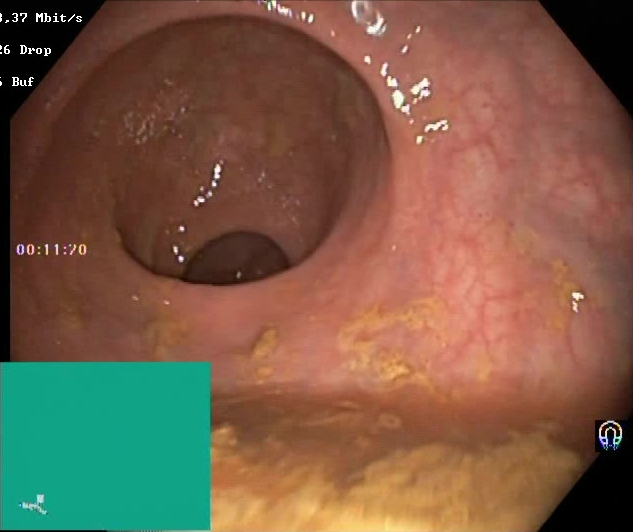PROCEDURE: Colonoscopy.
CATEGORY: Mucosal-view quality.
FINDINGS: BBPS score 0–1 (inadequate preparation).